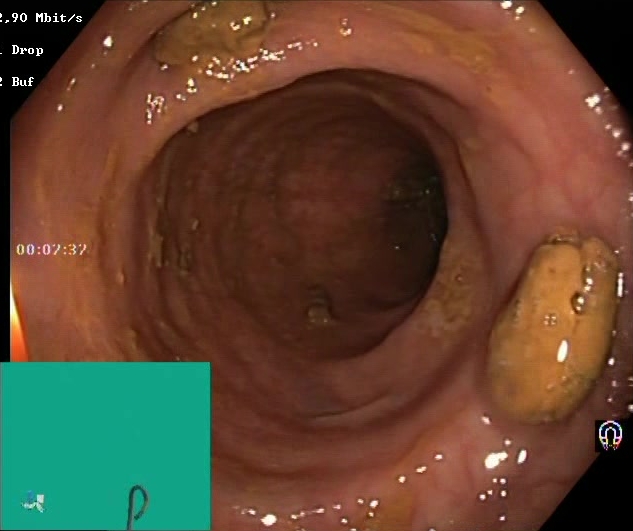This endoscopy frame of the lower GI tract shows impacted stool.